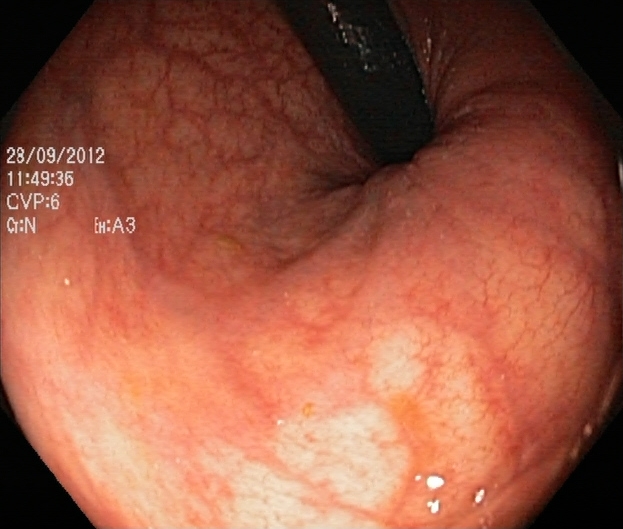modality: lower gastrointestinal endoscopy
tract: lower GI tract
category: anatomical landmark
finding: rectum in retroflexion